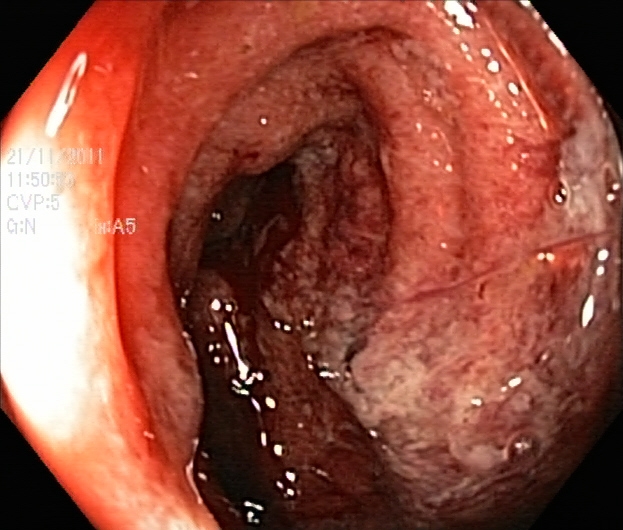Ulcerative colitis, Mayo endoscopic subscore 3.